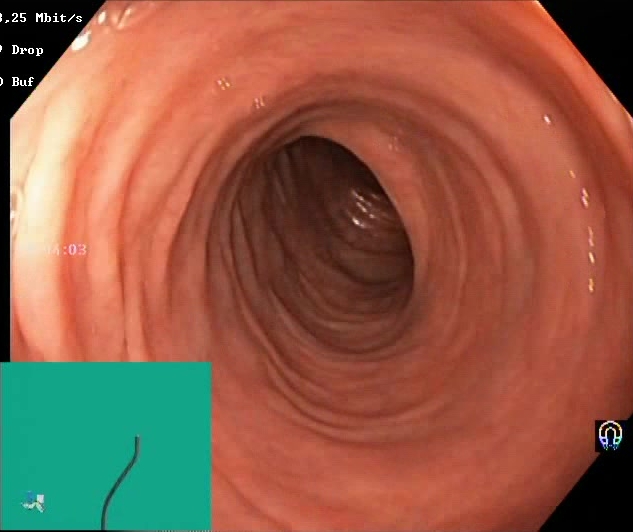PROCEDURE: Lower gastrointestinal endoscopy.
FINDINGS: BBPS score 2–3 (adequate preparation).